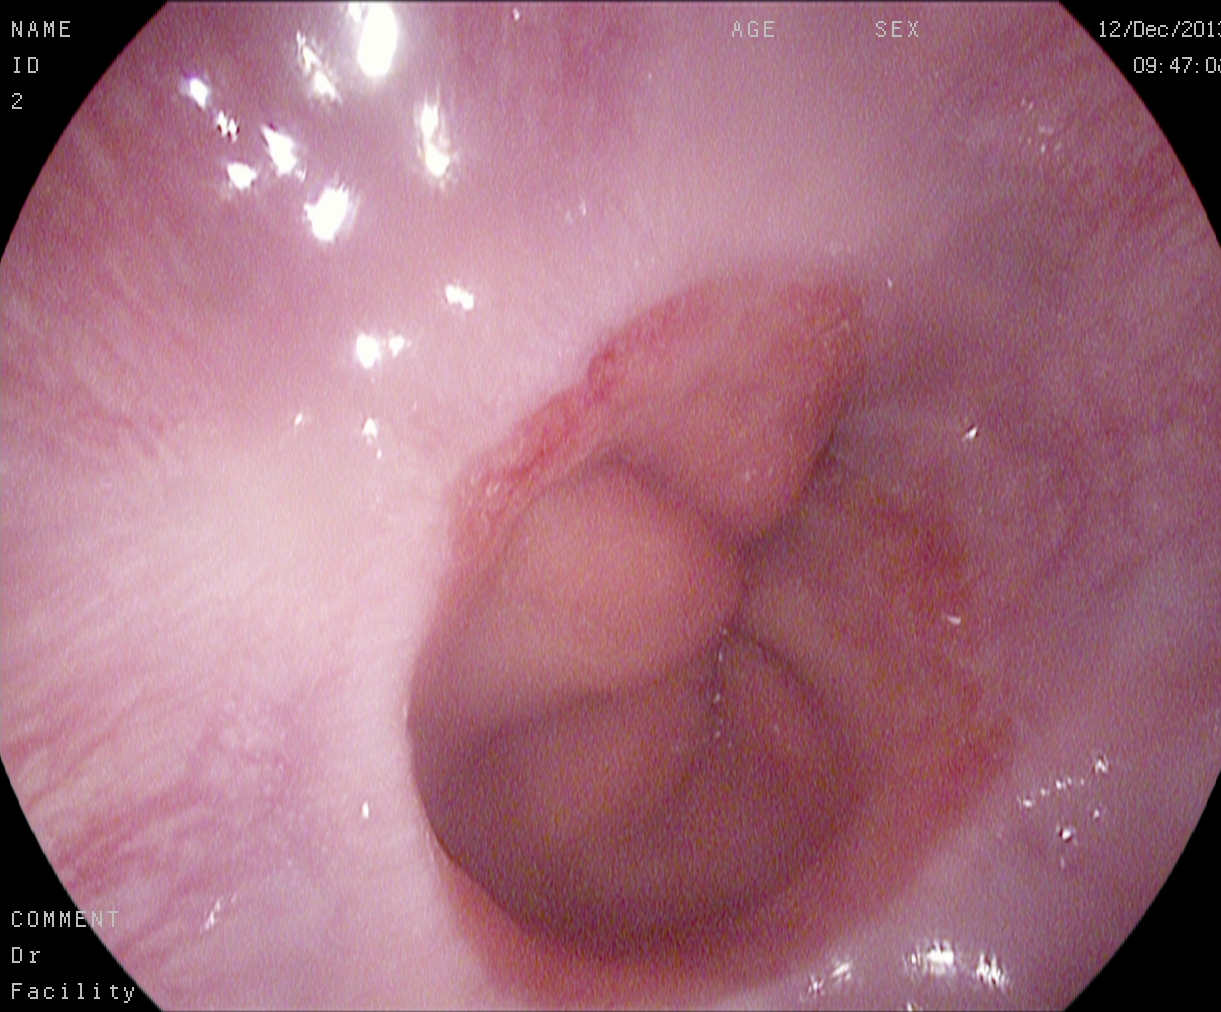{"modality": "gastroscopy", "tract": "upper GI tract", "finding": "Z-line (gastroesophageal junction)"}